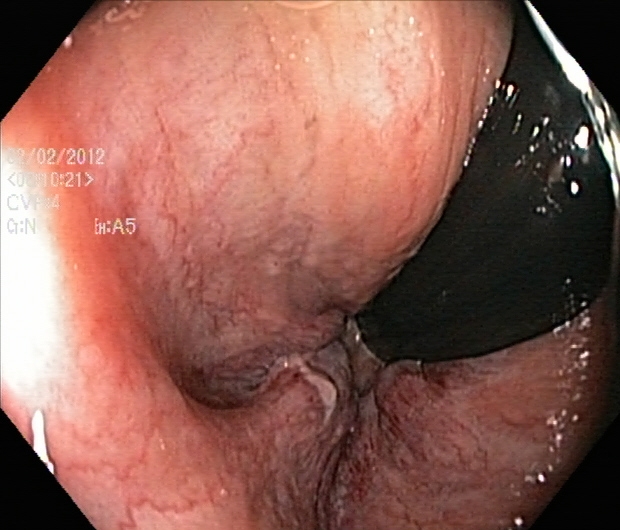This endoscopy frame shows rectum in retroflexion.